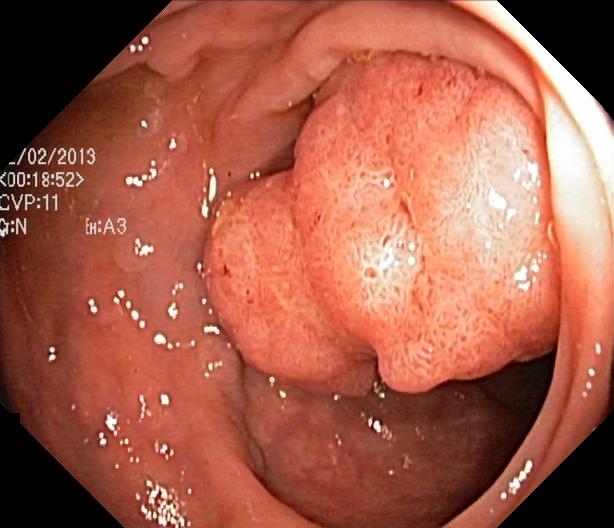PROCEDURE: Colonoscopy.
FINDINGS: Colorectal polyp(s).